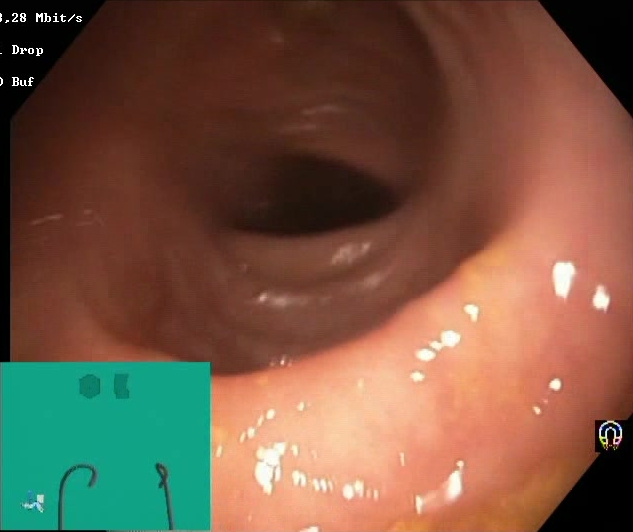{"modality": "colonoscopy", "tract": "lower GI tract", "category": "mucosal-view quality", "finding": "BBPS score 2\u20133 (adequate preparation)"}